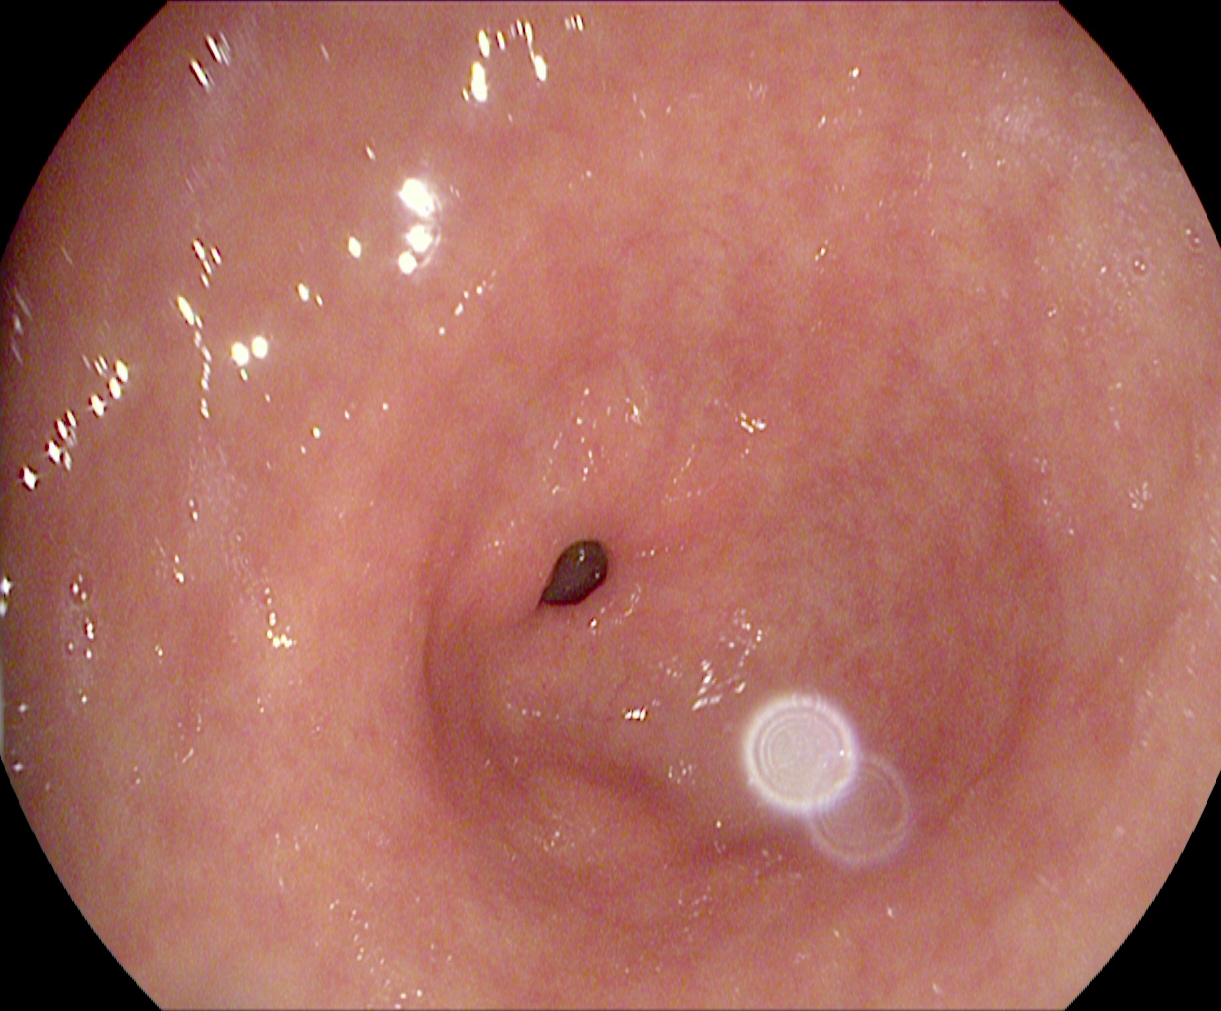This endoscopy frame shows pylorus.